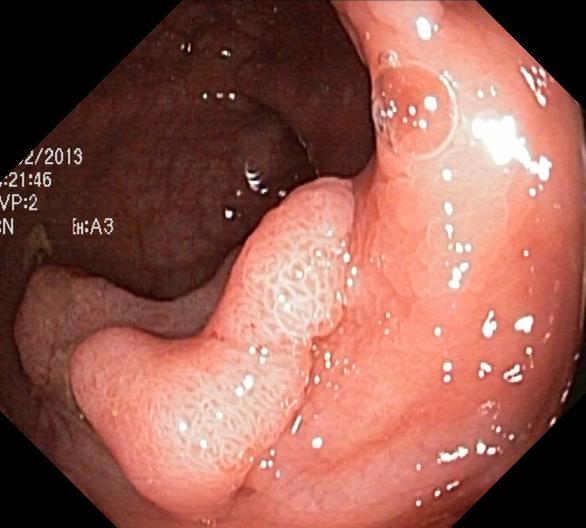Lower-GI endoscopy image showing colorectal polyp(s).